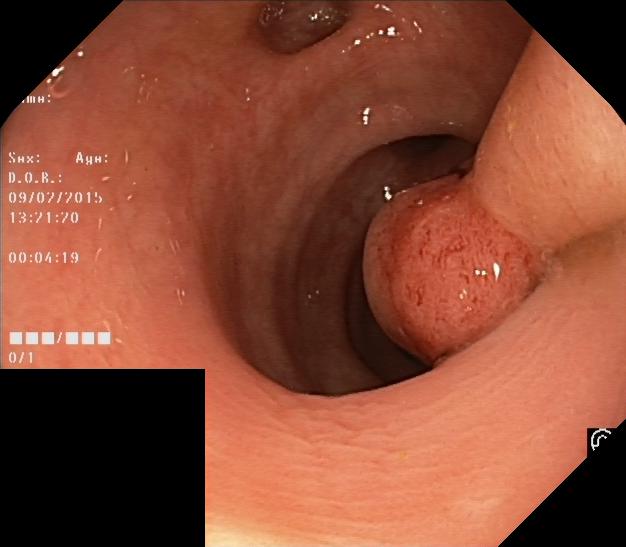Lower gastrointestinal endoscopy — colorectal polyp(s).